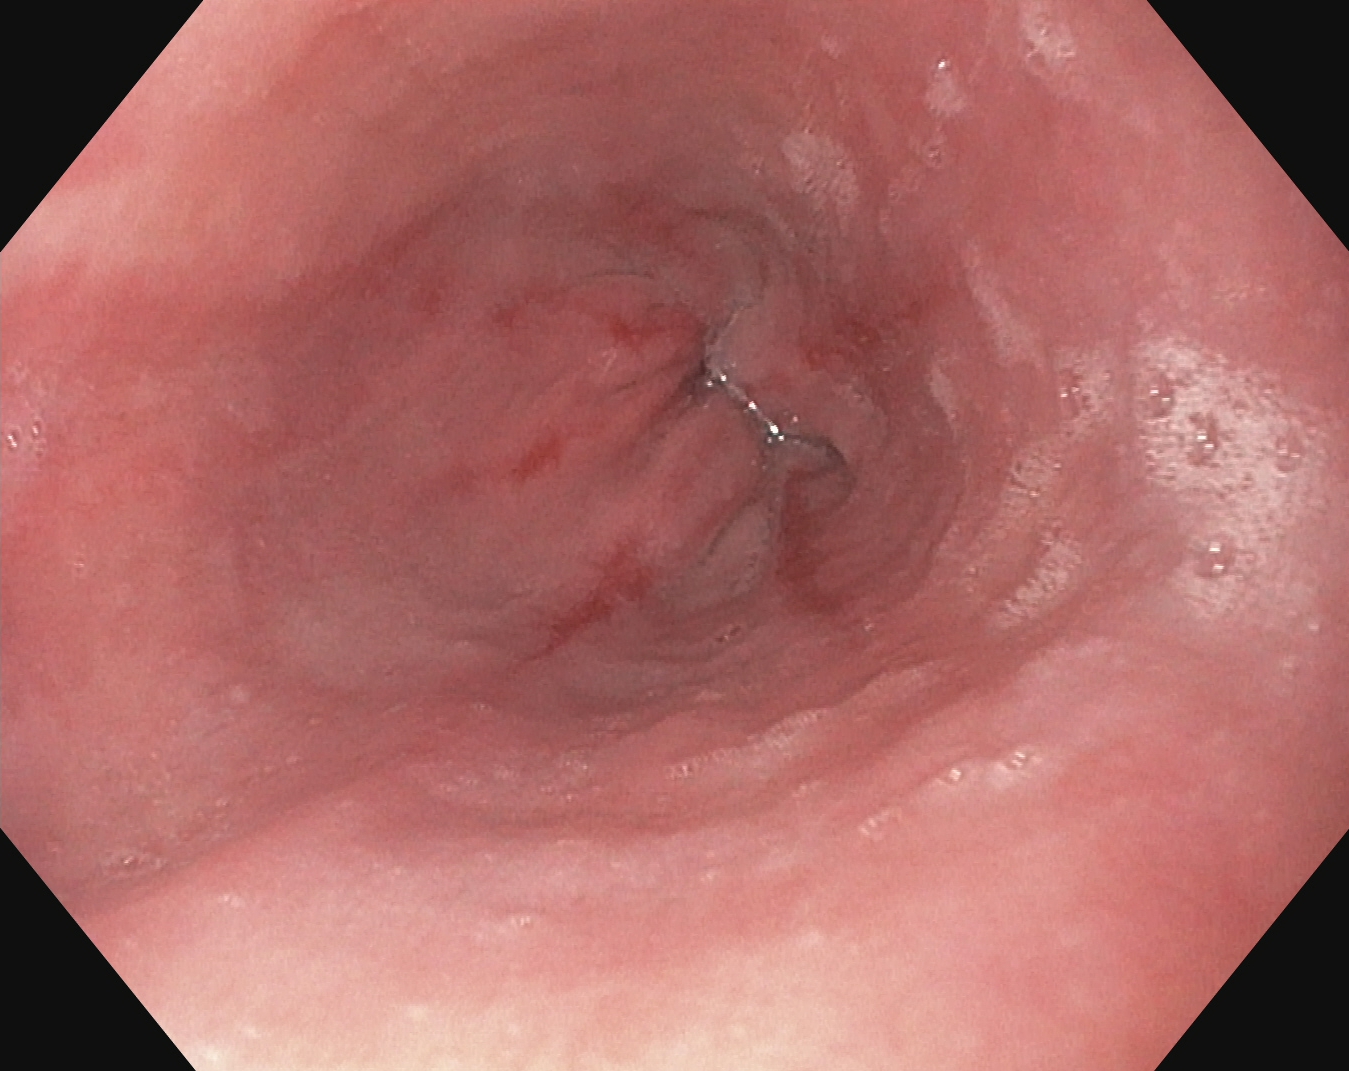PROCEDURE: Gastroscopy.
FINDINGS: Reflux esophagitis, Los Angeles grade A.